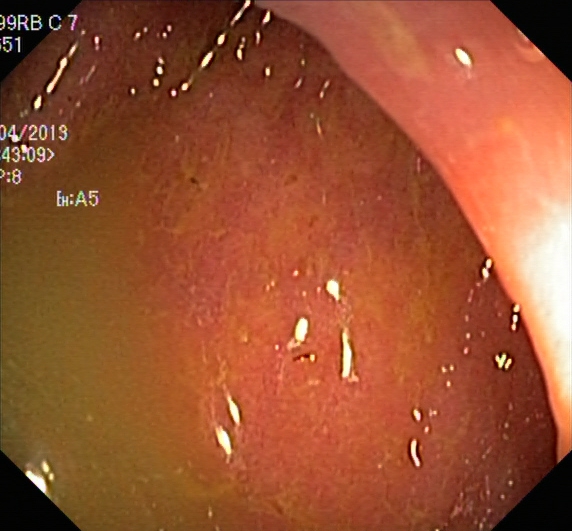GI endoscopy image showing UC, Mayo endoscopic subscore 2.